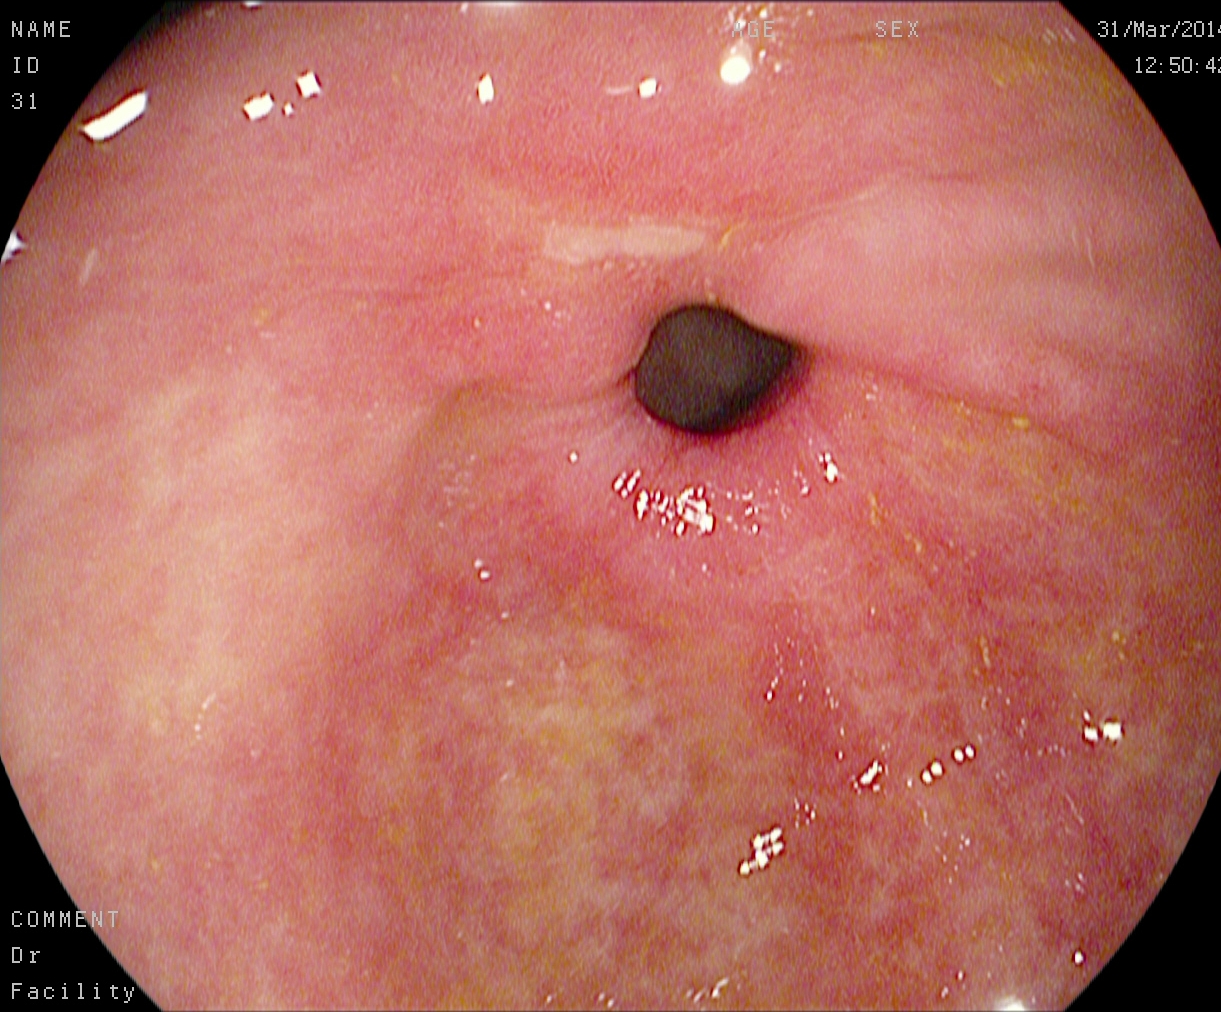{"modality": "upper-GI endoscopy", "tract": "upper GI tract", "finding": "pylorus"}